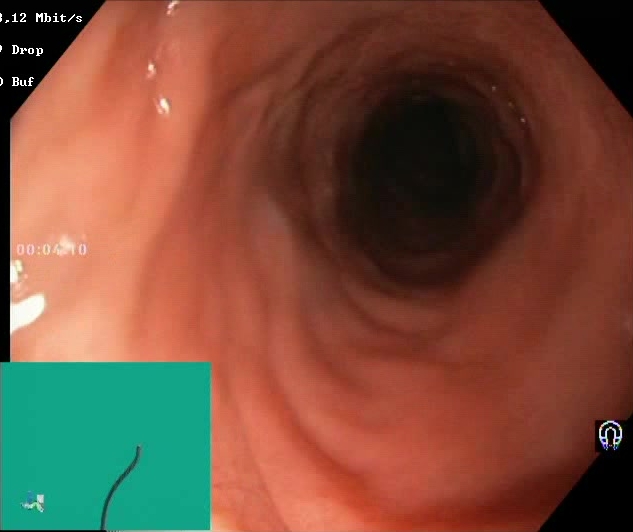Boston Bowel Preparation Scale score 2–3 (adequate preparation).